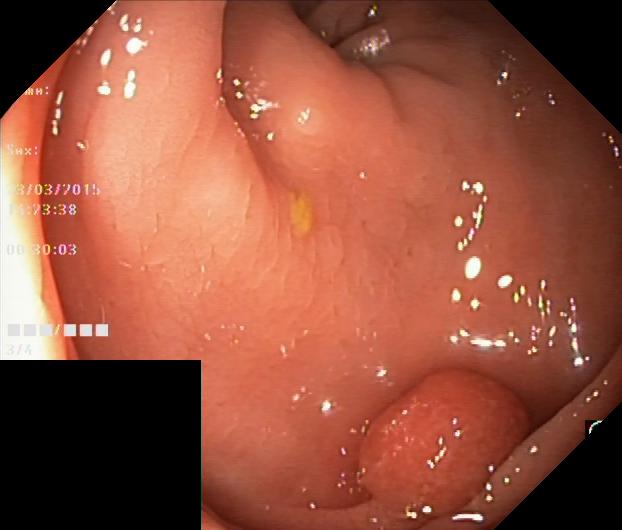PROCEDURE: Colonoscopy.
CATEGORY: Pathological finding.
FINDINGS: Colorectal polyp(s).